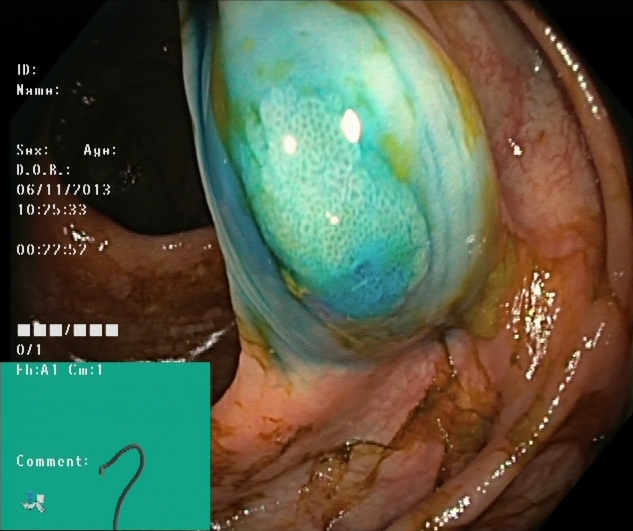modality: lower gastrointestinal endoscopy | category: therapeutic intervention | finding: dyed and lifted polyp (pre-resection)